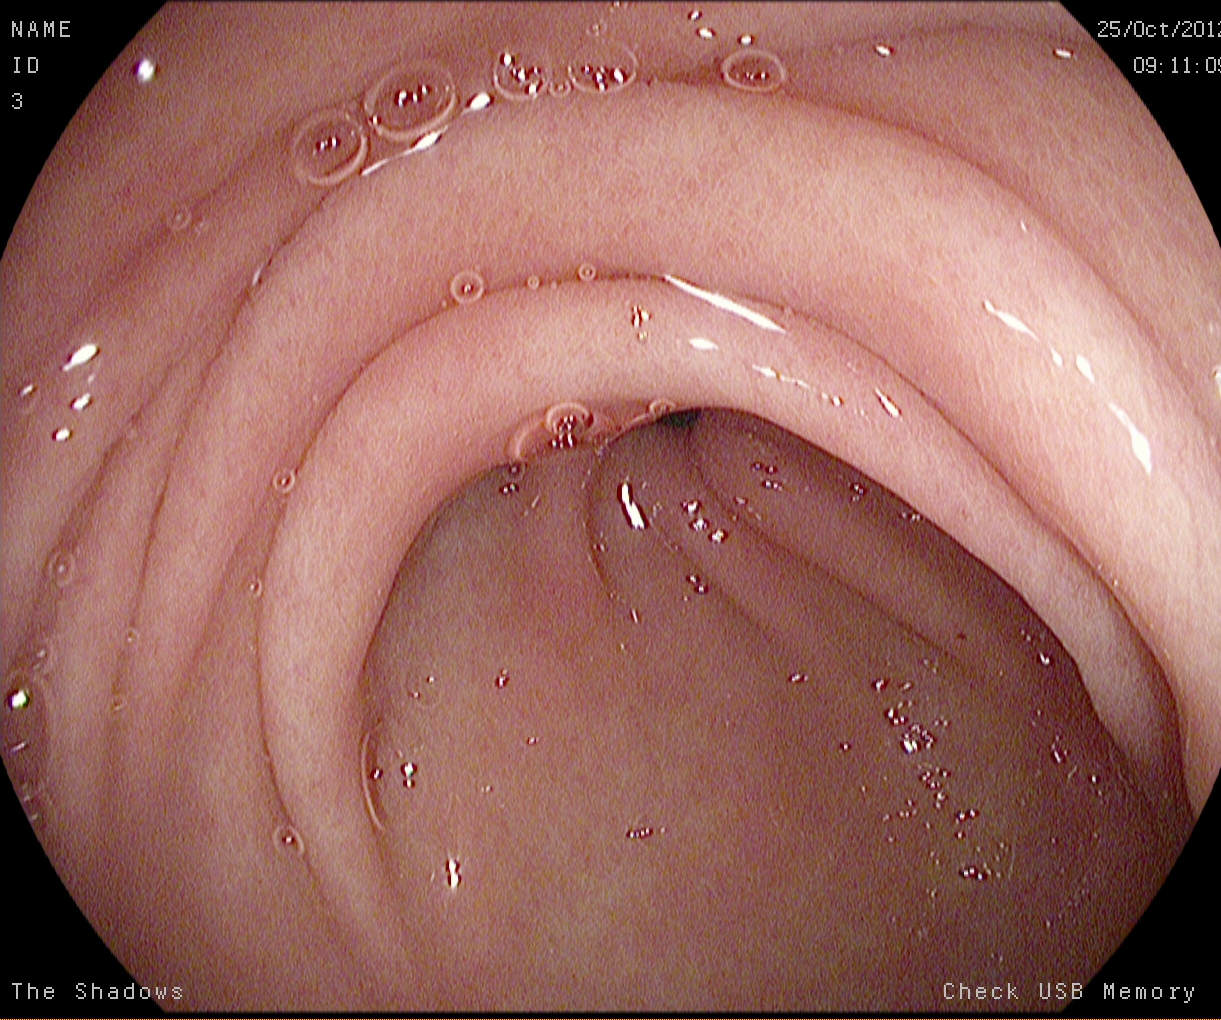Pylorus.